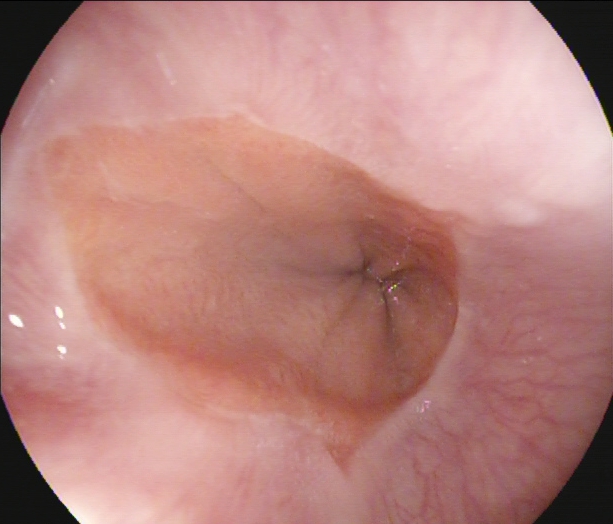PROCEDURE: Gastroscopy.
FINDINGS: Z-line (gastroesophageal junction).